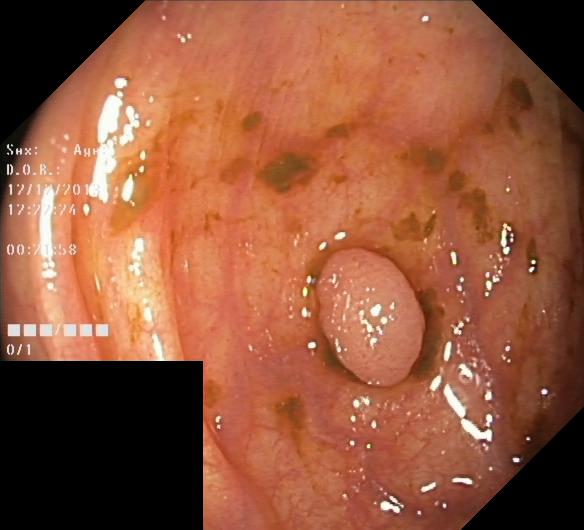Lower-GI endoscopy image showing colorectal polyp(s).